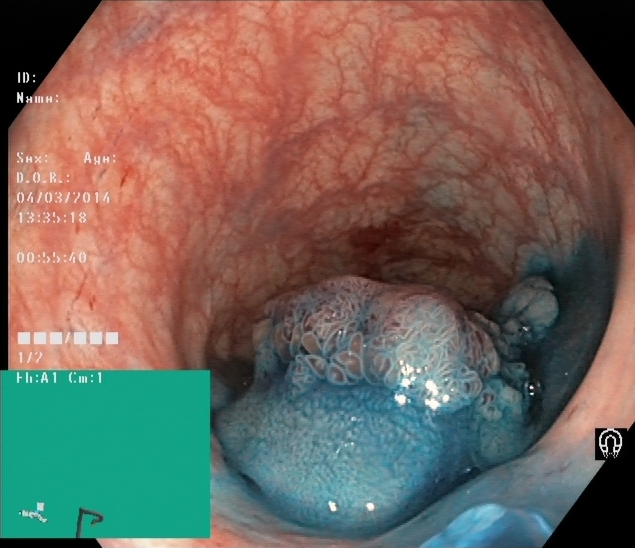modality: colonoscopy; category: therapeutic intervention; finding: dyed and lifted polyp (pre-resection)